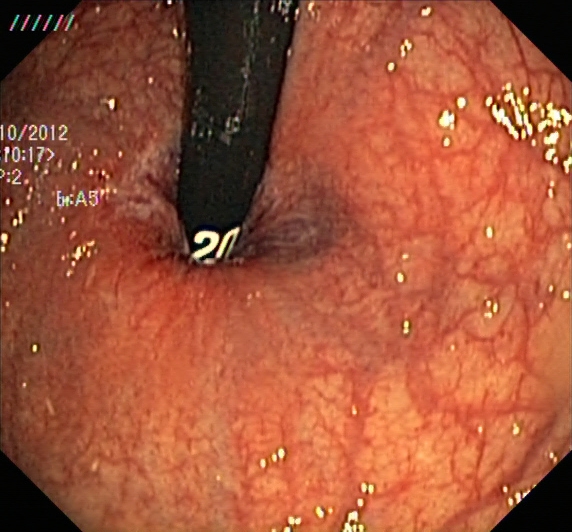{"modality": "lower-GI endoscopy", "finding": "rectum in retroflexion"}